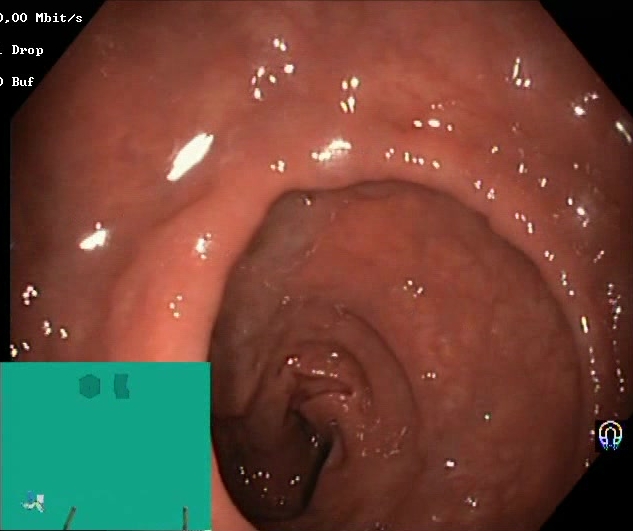Endoscopic image showing BBPS score 2–3 (adequate preparation).